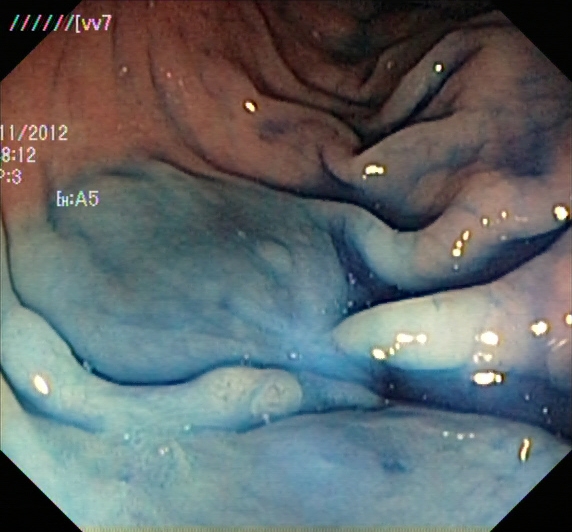This endoscopy frame shows dyed and lifted polyp (pre-resection).